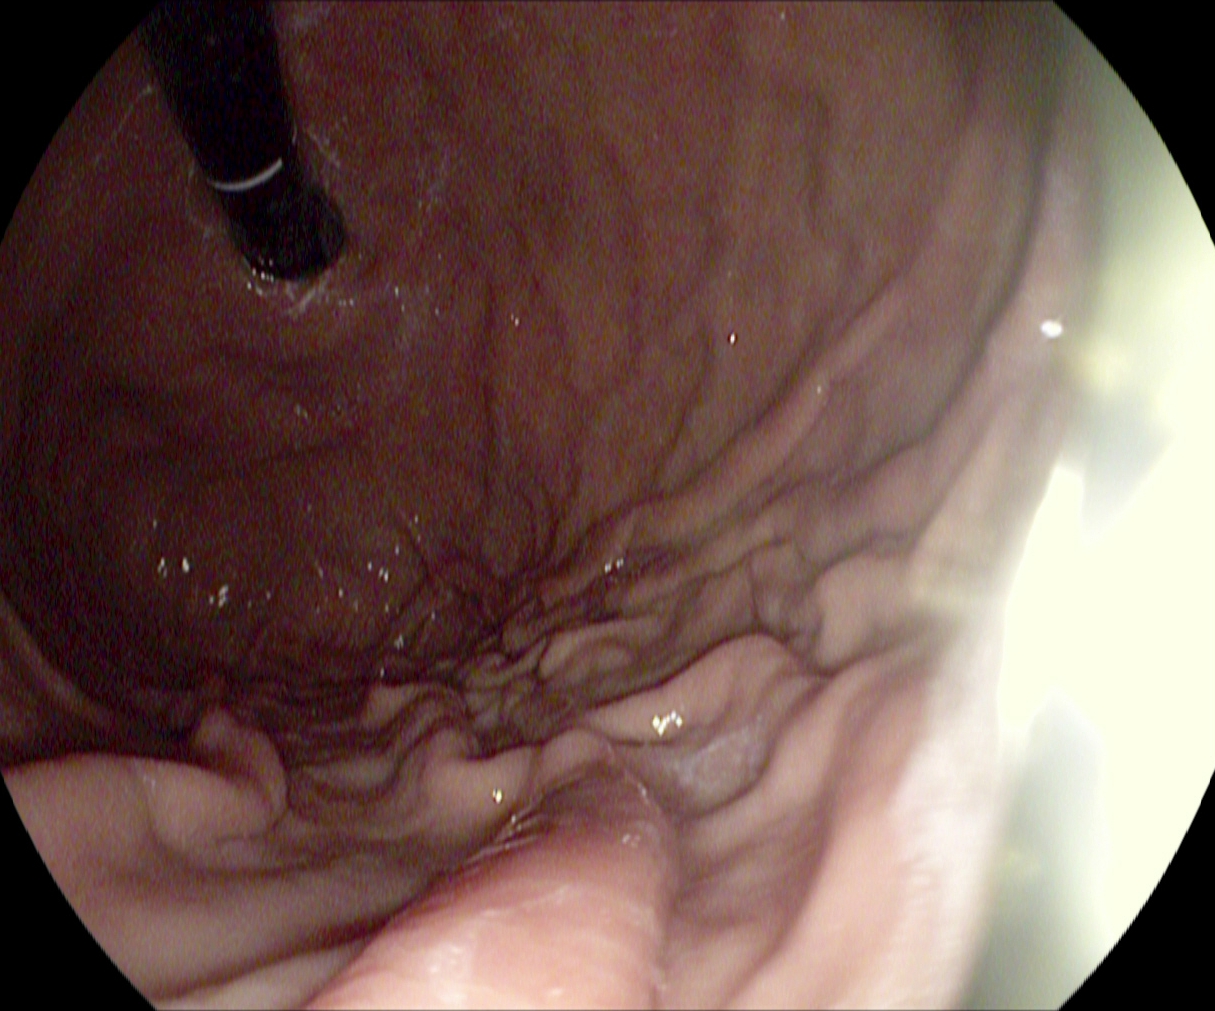modality: esophagogastroduodenoscopy
category: anatomical landmark
finding: stomach in retroflexion